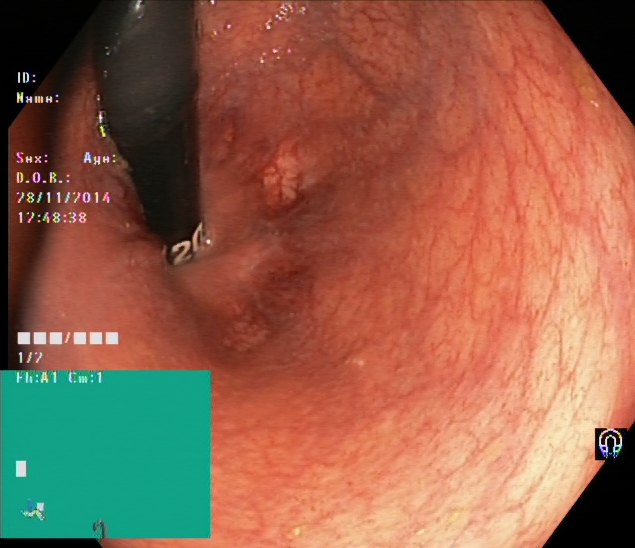This endoscopy frame of the lower GI tract shows rectum in retroflexion.